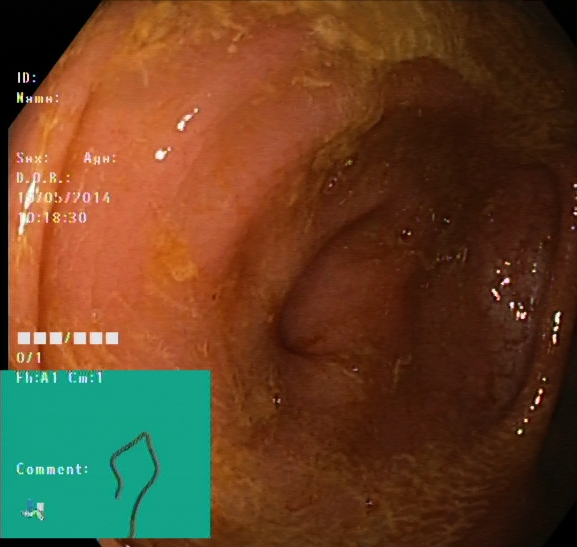PROCEDURE: Colonoscopy.
FINDINGS: Cecum.